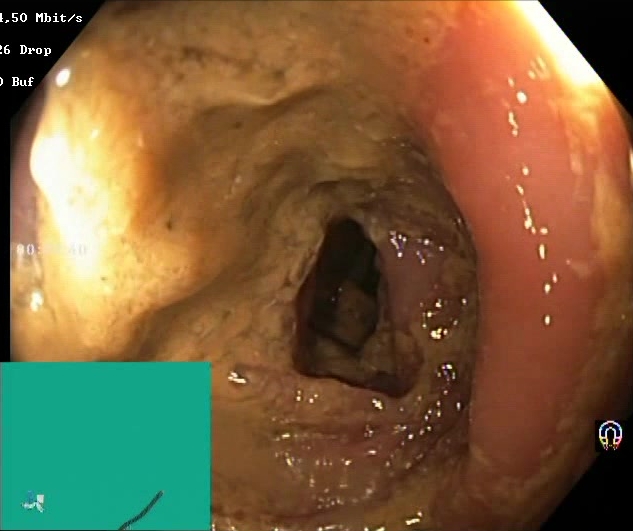Lower gastrointestinal endoscopy image of the lower GI tract showing Boston Bowel Preparation Scale score 0–1 (inadequate preparation).